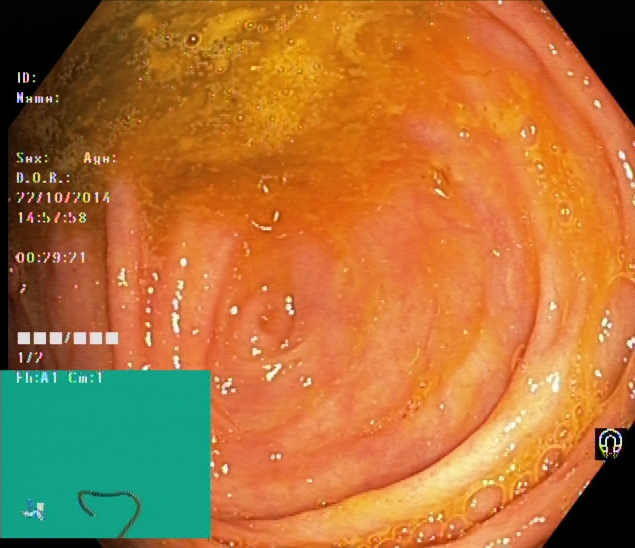{"modality": "lower gastrointestinal endoscopy", "tract": "lower GI tract", "category": "anatomical landmark", "finding": "cecum"}